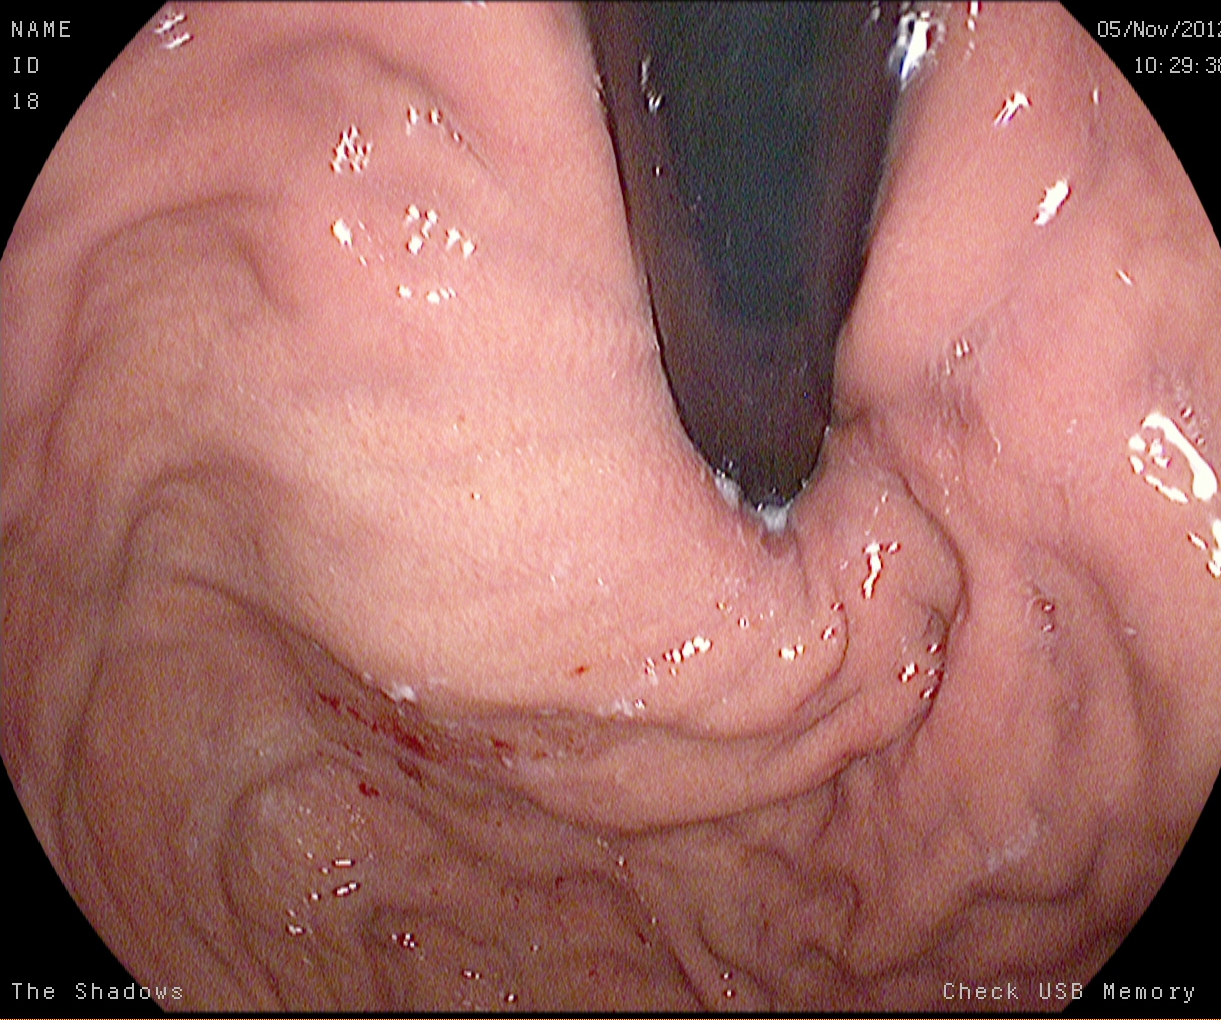Gastroscopy image showing stomach in retroflexion.